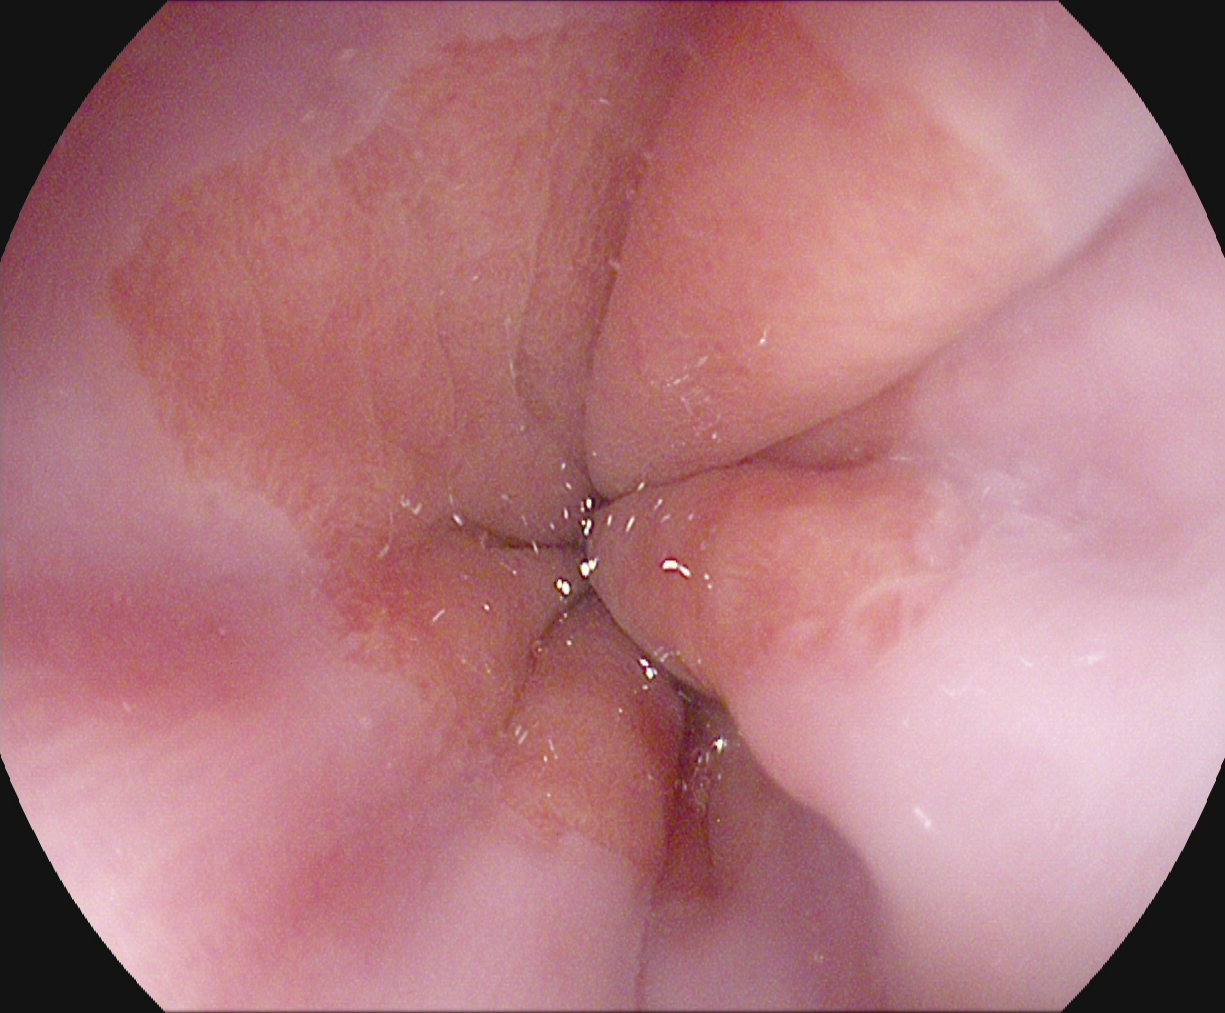modality: esophagogastroduodenoscopy
tract: upper GI tract
finding: Z-line (gastroesophageal junction)